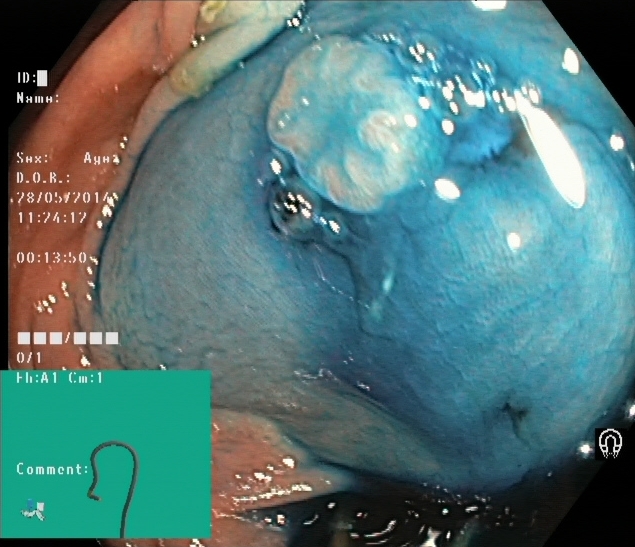Lower gastrointestinal endoscopy. Tract: lower GI tract. Finding: dyed and lifted polyp (pre-resection).